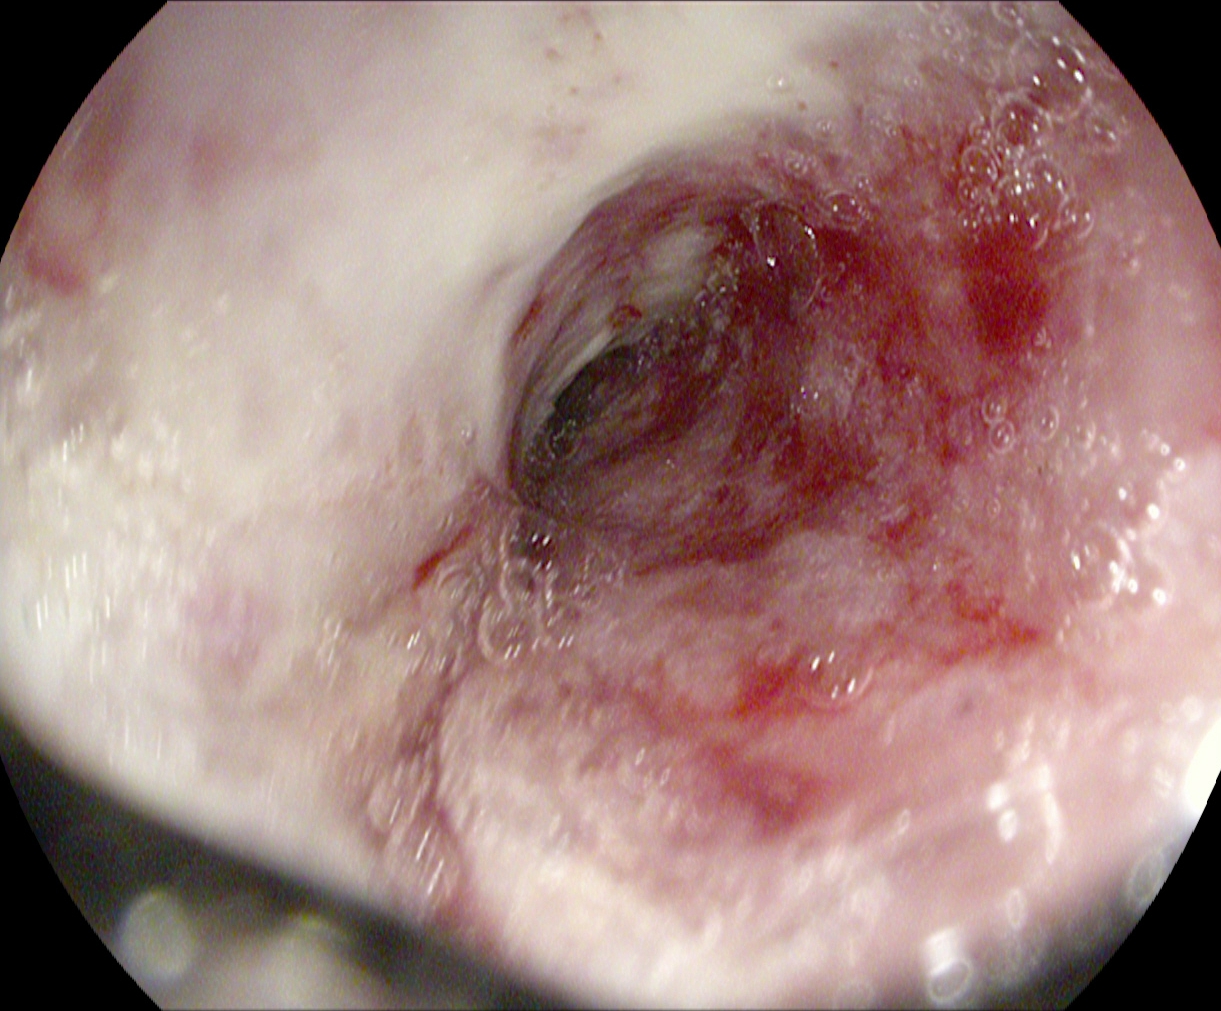Reflux esophagitis, LA grade B–D.